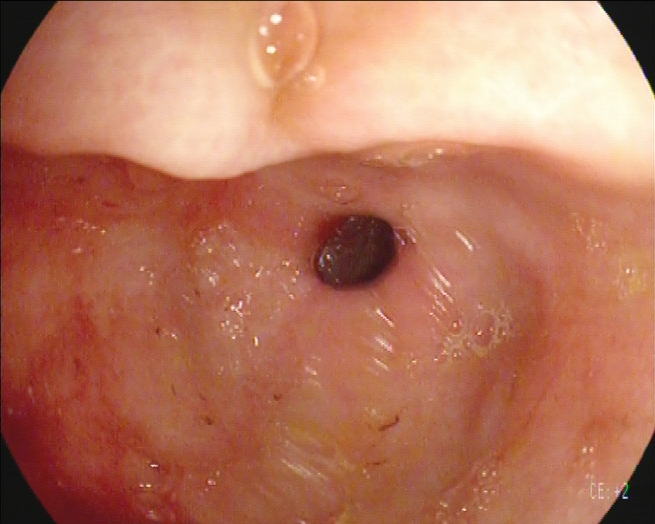Upper-GI endoscopy — pylorus.